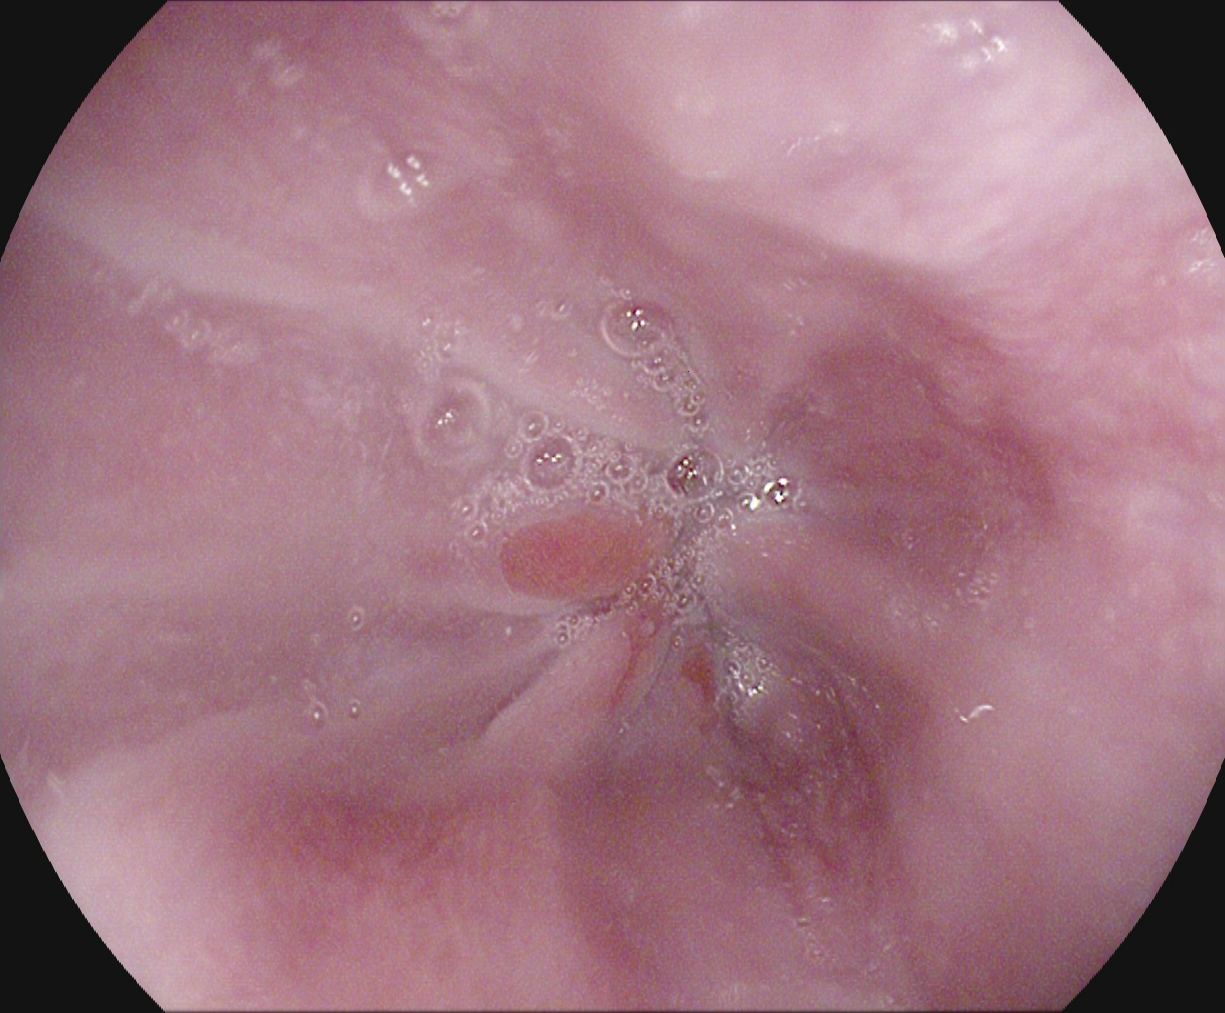PROCEDURE: Upper-GI endoscopy.
CATEGORY: Anatomical landmark.
FINDINGS: Z-line (gastroesophageal junction).